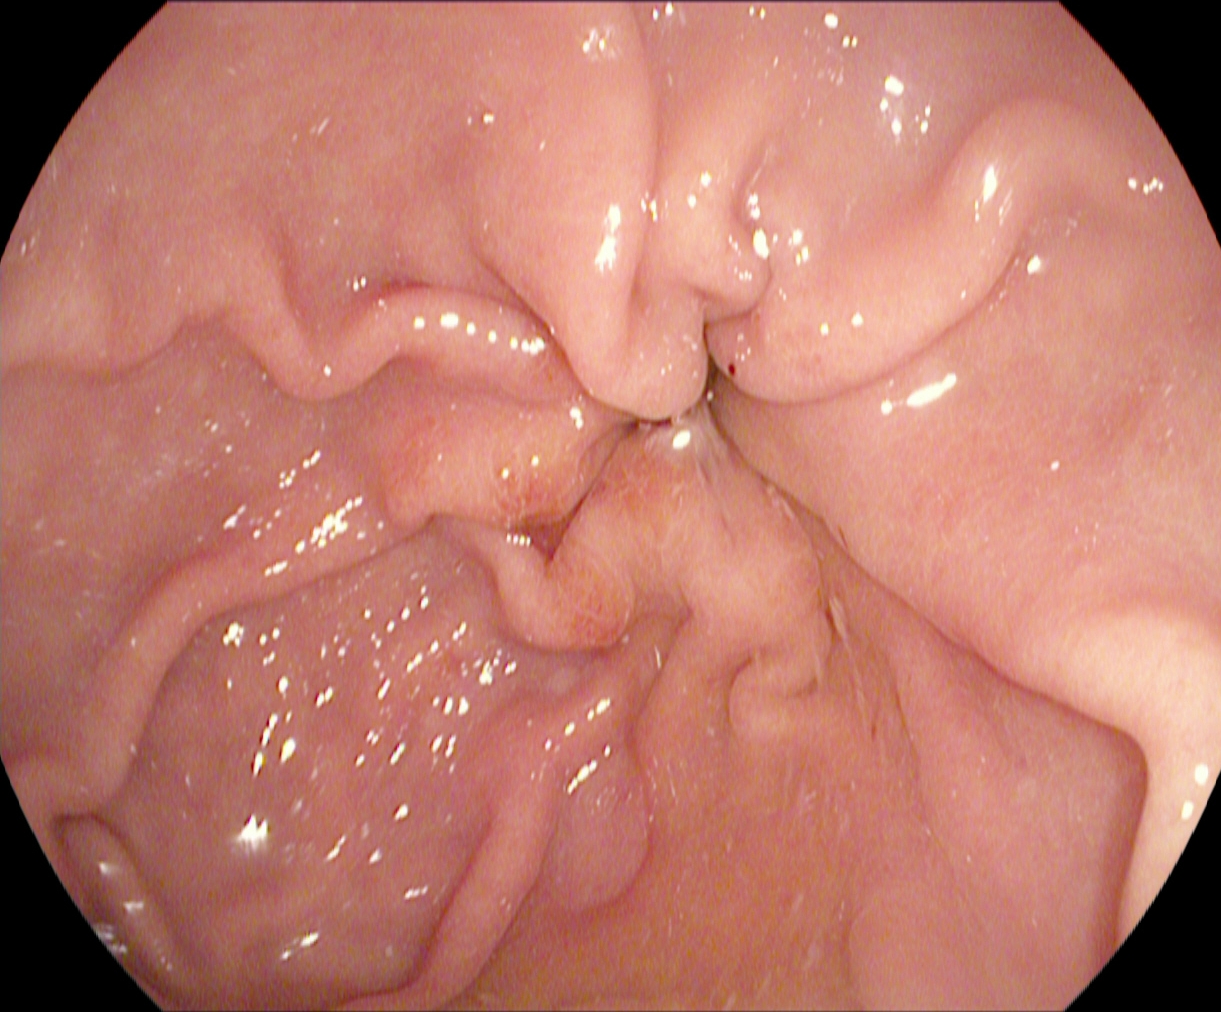PROCEDURE: Upper-GI endoscopy.
CATEGORY: Anatomical landmark.
FINDINGS: Pylorus.